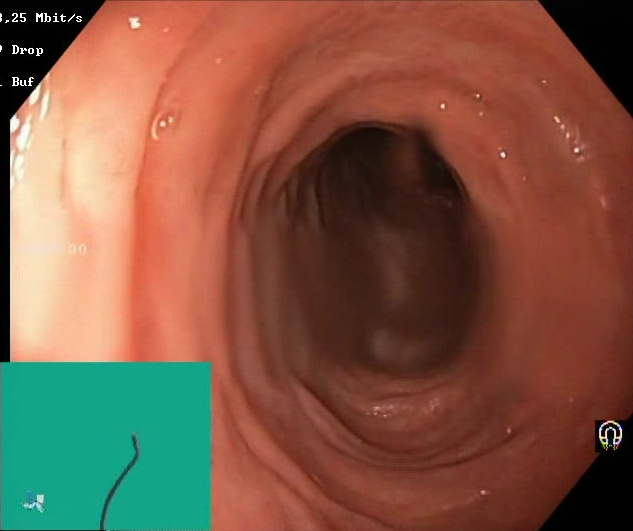{"modality": "lower gastrointestinal endoscopy", "tract": "lower GI tract", "finding": "Boston Bowel Preparation Scale score 2\u20133 (adequate preparation)"}